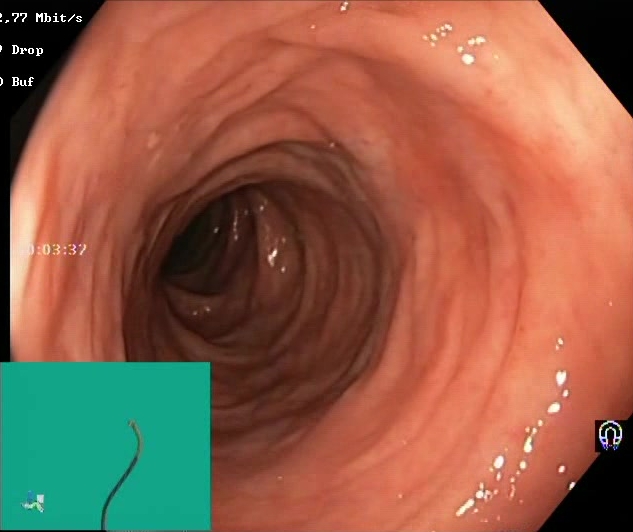Boston Bowel Preparation Scale score 2–3 (adequate preparation).